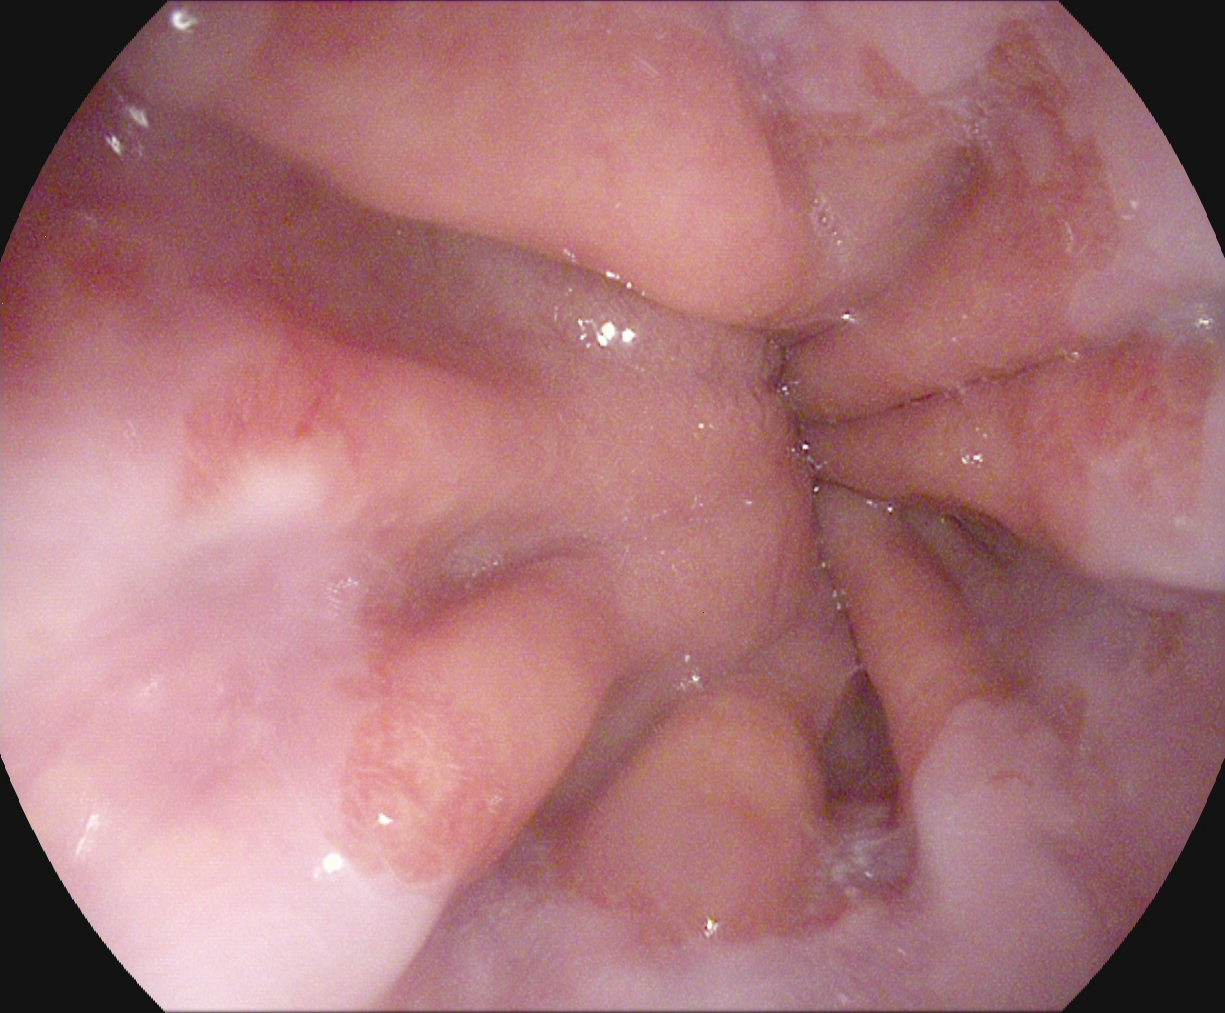Z-line (gastroesophageal junction).